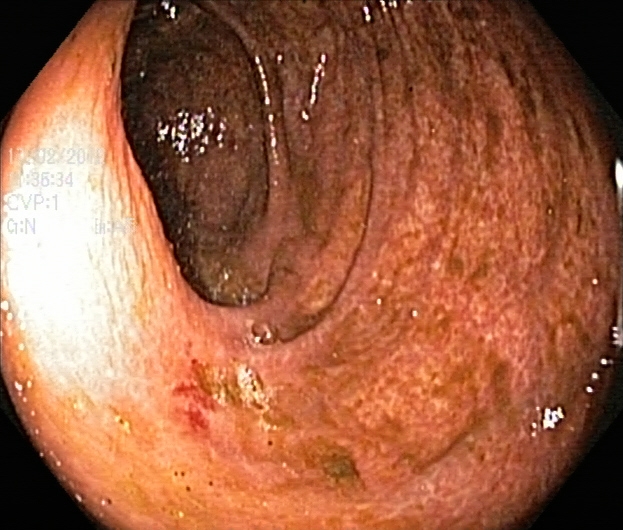Lower gastrointestinal endoscopy image of the lower GI tract showing Boston Bowel Preparation Scale score 0–1 (inadequate preparation).